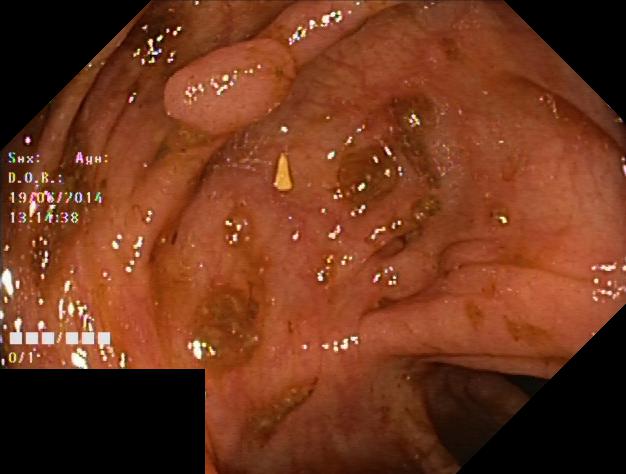colorectal polyp(s).